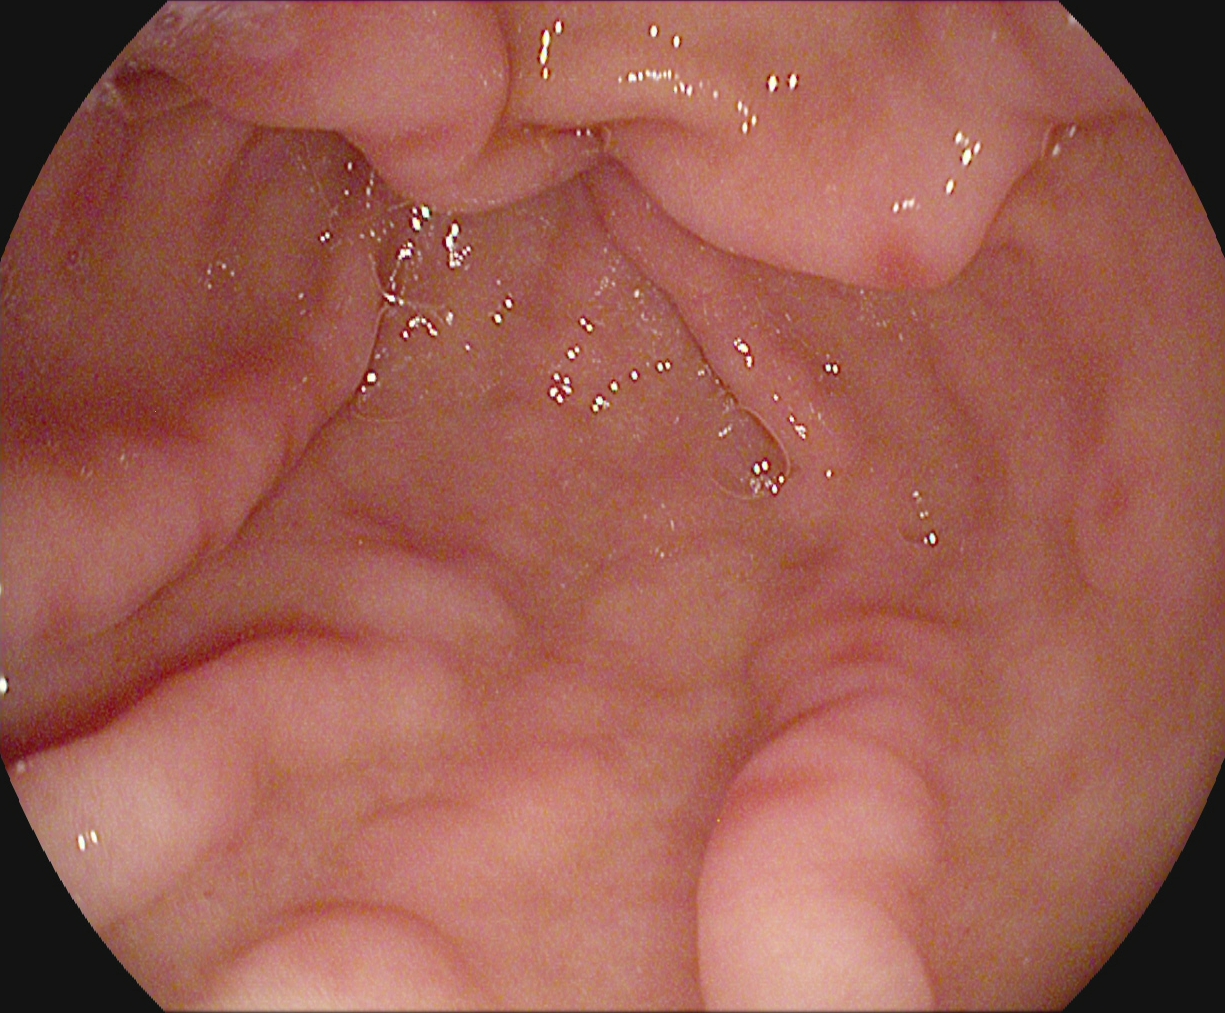{"modality": "gastroscopy", "tract": "upper GI tract", "category": "anatomical landmark", "finding": "pylorus"}